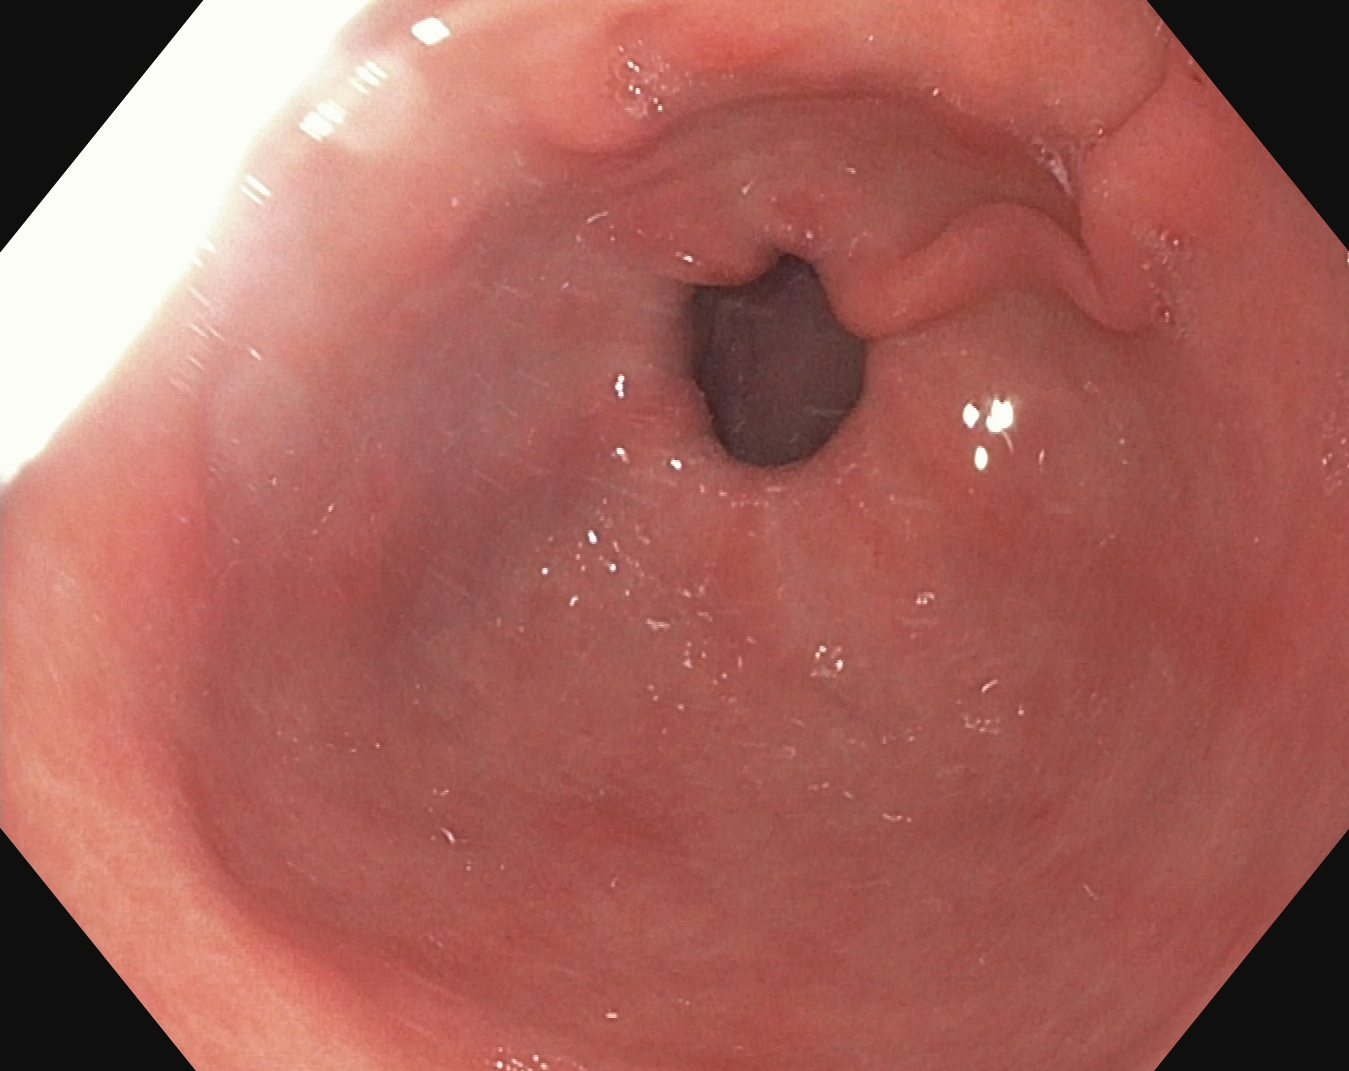Upper-GI endoscopy image of the upper GI tract showing pylorus.